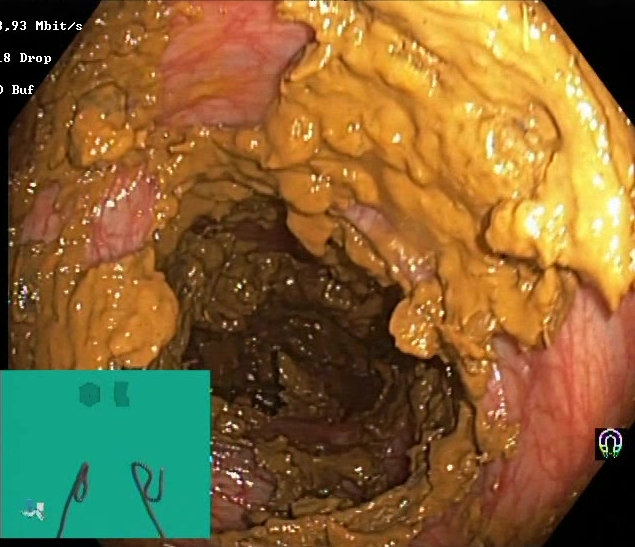{"modality": "colonoscopy", "finding": "BBPS score 0\u20131 (inadequate preparation)"}